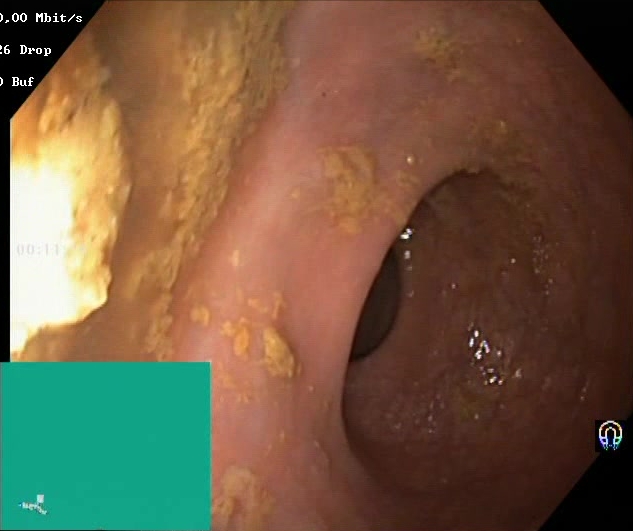This endoscopy frame of the lower GI tract shows BBPS score 0–1 (inadequate preparation).